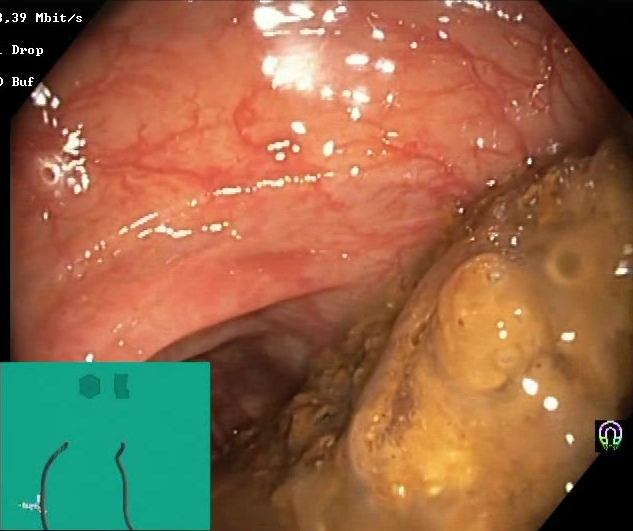Lower-GI endoscopy. Finding: Boston Bowel Preparation Scale score 0–1 (inadequate preparation).